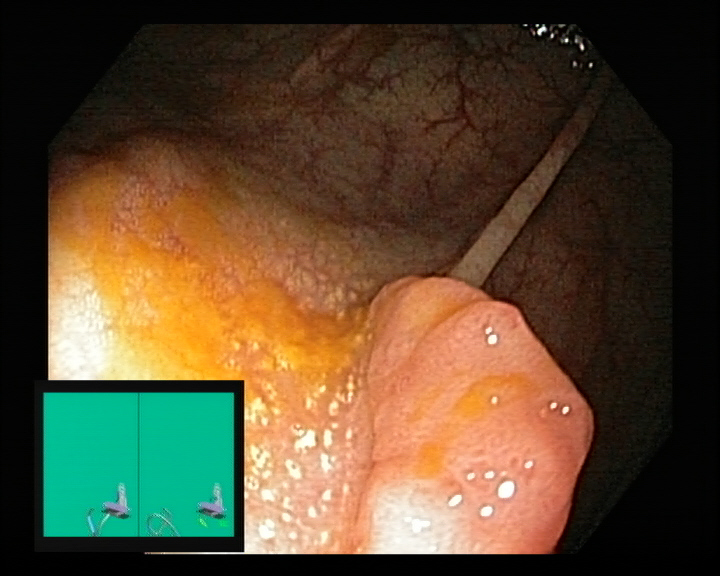Colonoscopy image of the lower GI tract showing colorectal polyp(s).